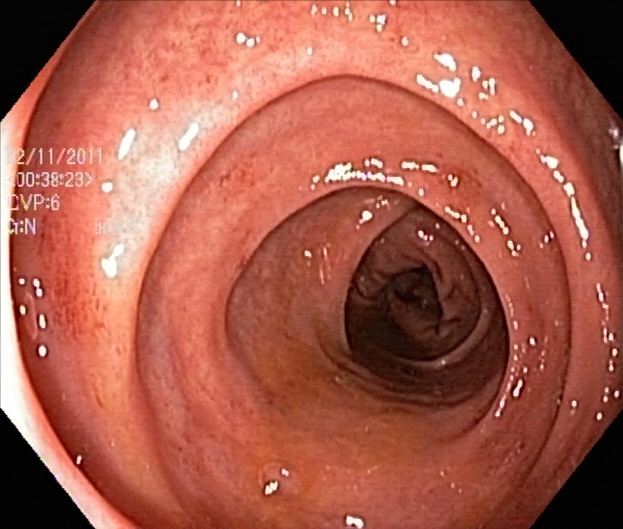Lower-GI endoscopy image of the lower GI tract showing ulcerative colitis, Mayo endoscopic subscore 1.